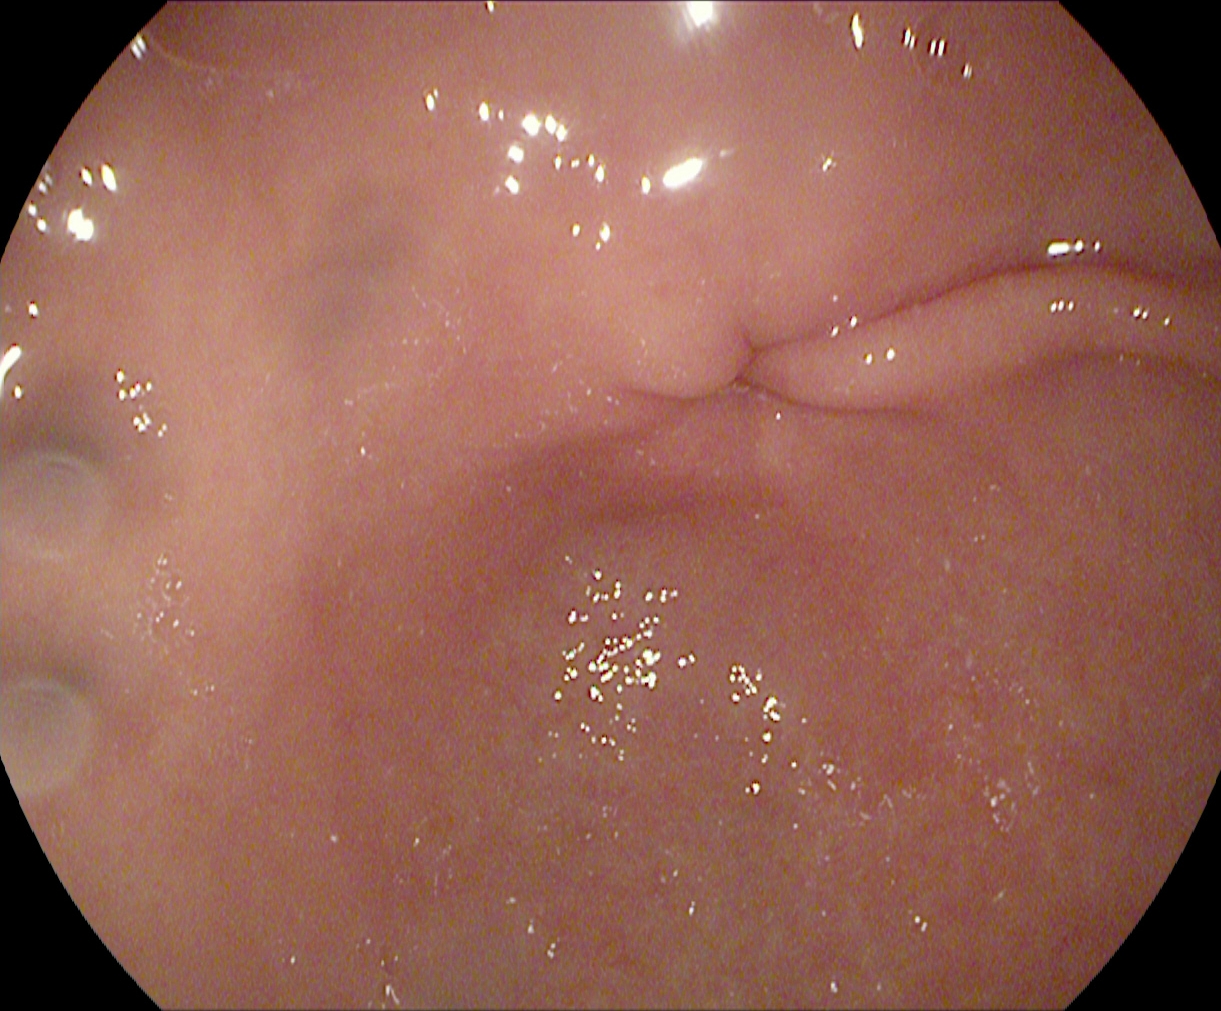Pylorus.